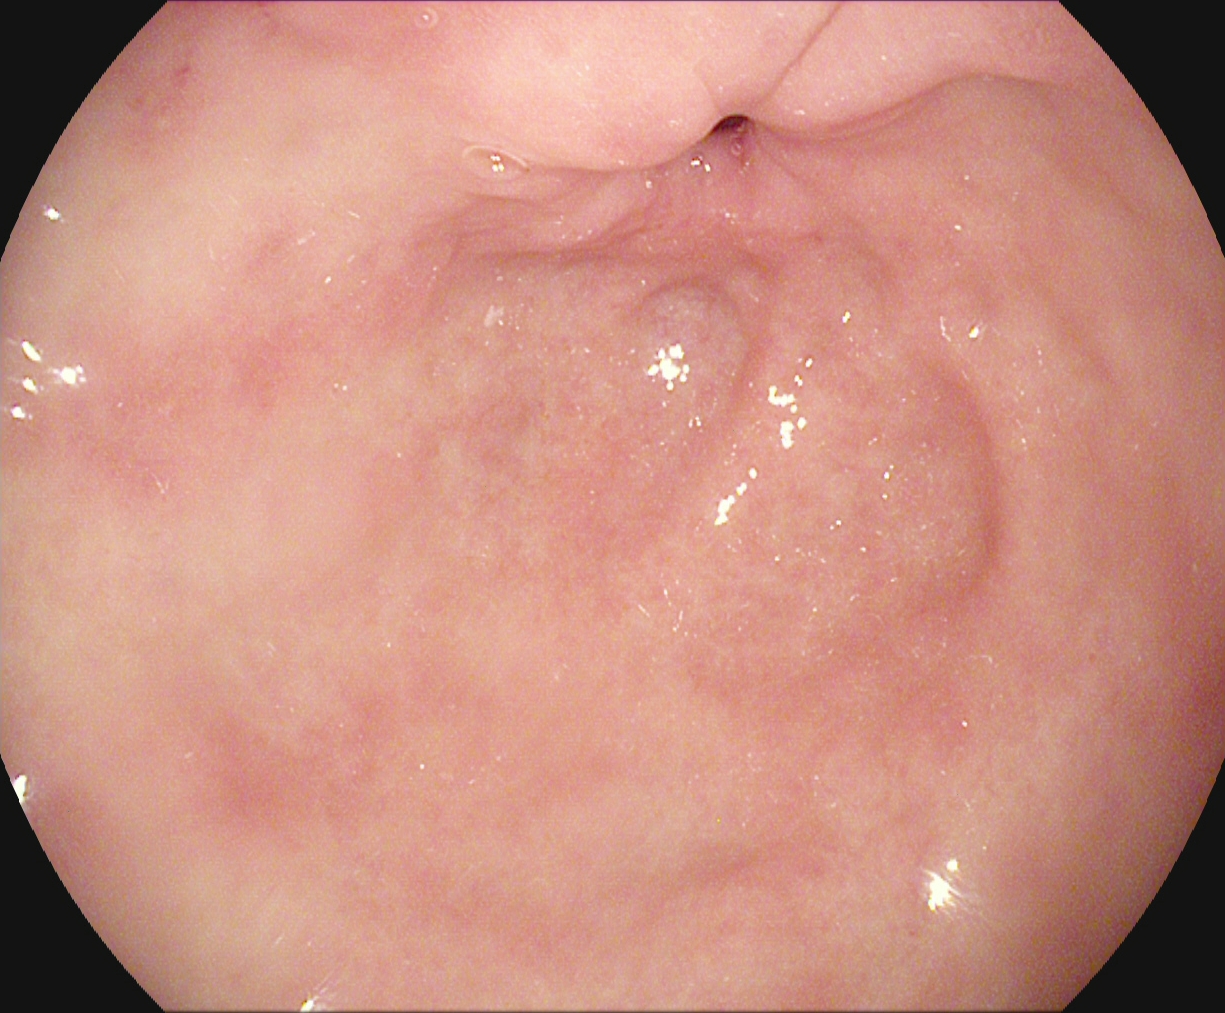This endoscopy frame of the upper GI tract shows pylorus.